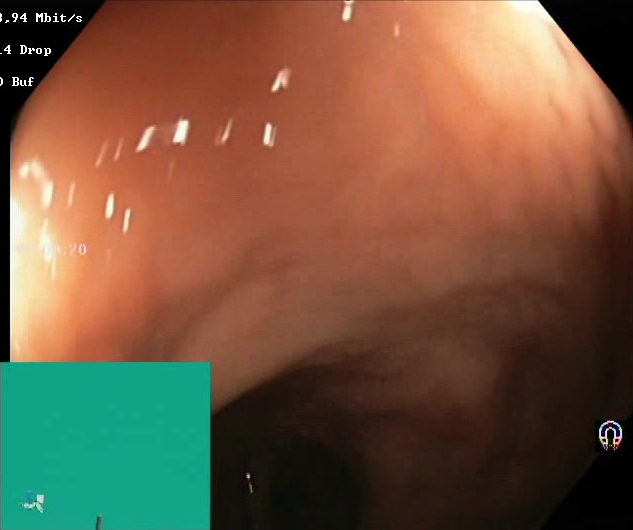Boston Bowel Preparation Scale score 2–3 (adequate preparation).